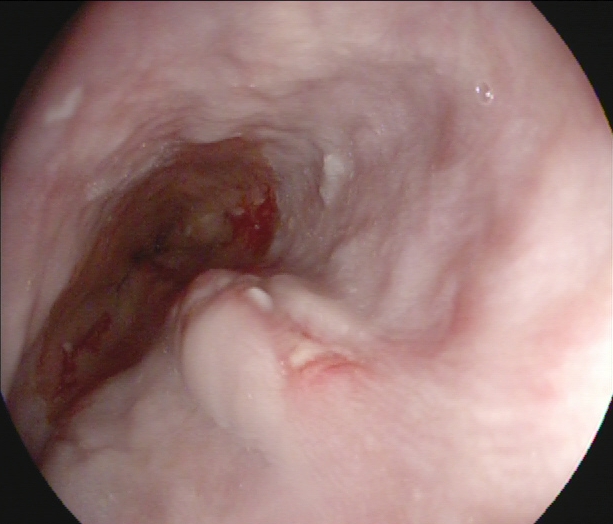modality: esophagogastroduodenoscopy | category: pathological finding | finding: reflux esophagitis, Los Angeles grade B–D